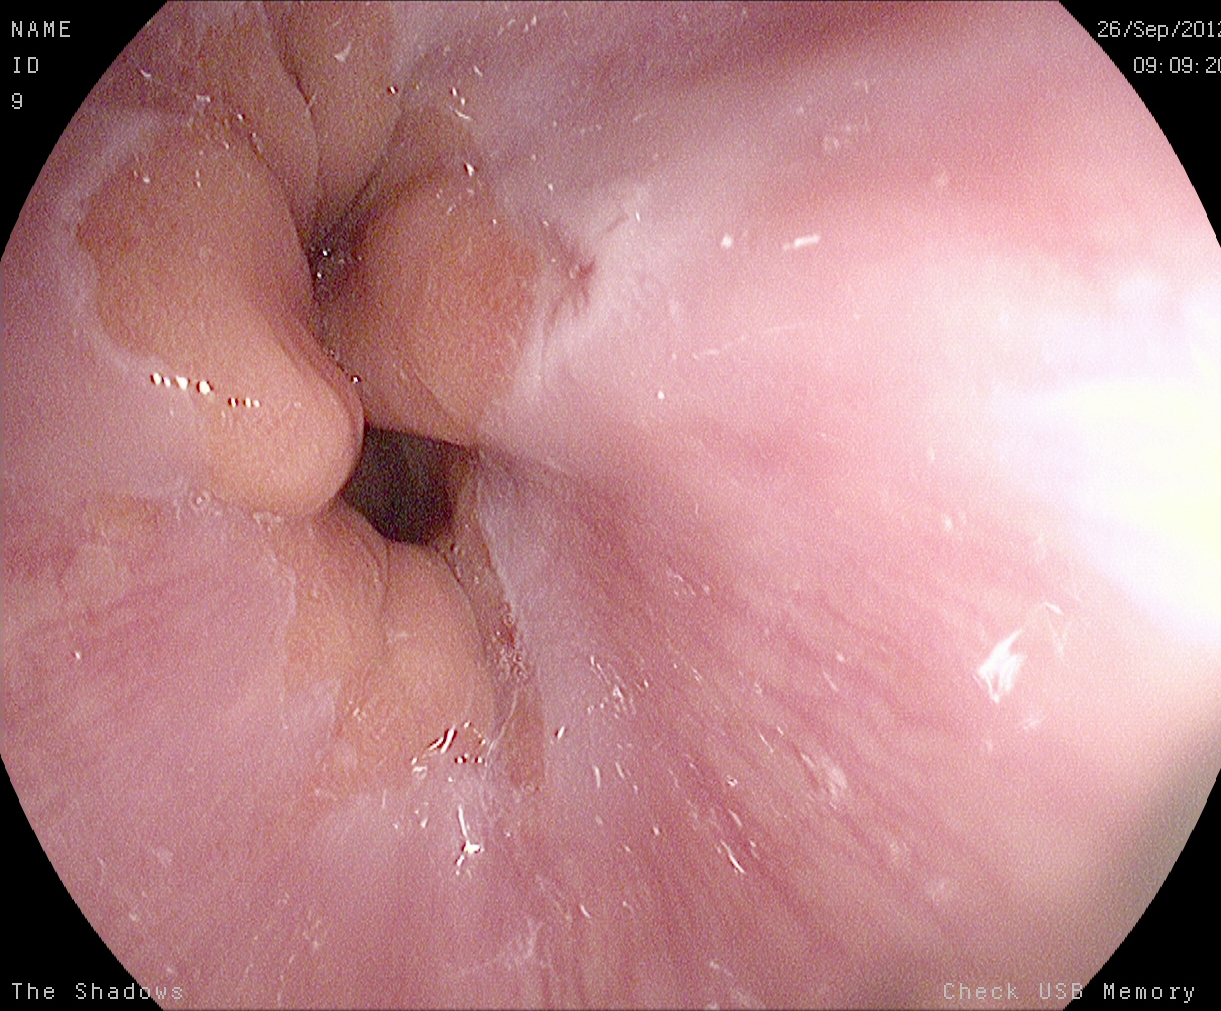modality: esophagogastroduodenoscopy
finding: Z-line (gastroesophageal junction)